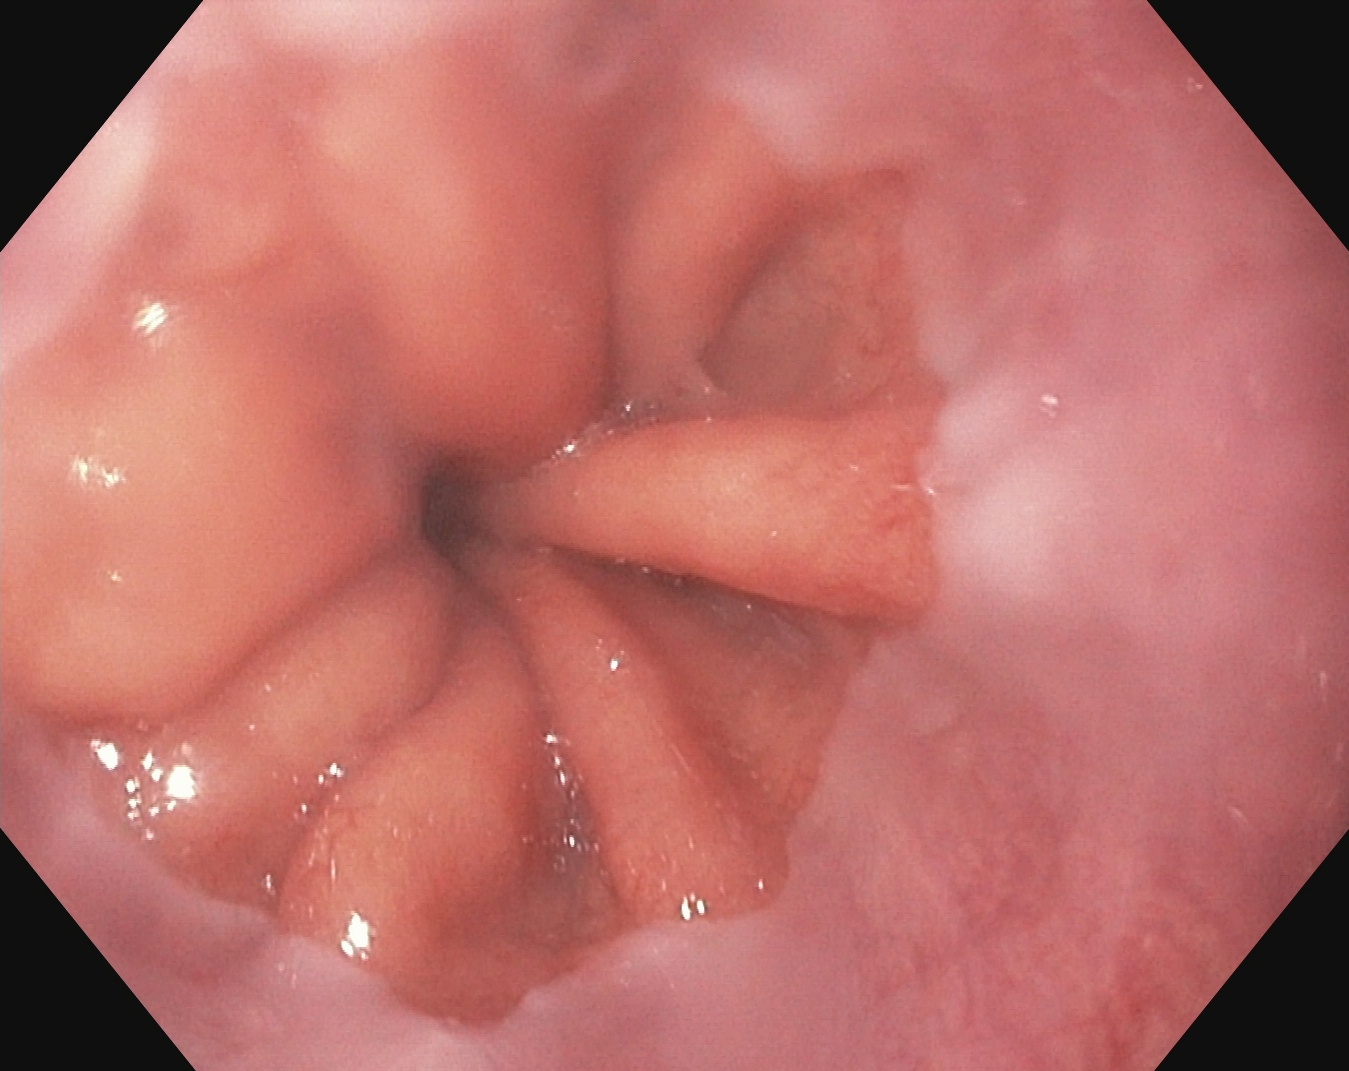modality: esophagogastroduodenoscopy; tract: upper GI tract; finding: Z-line (gastroesophageal junction)